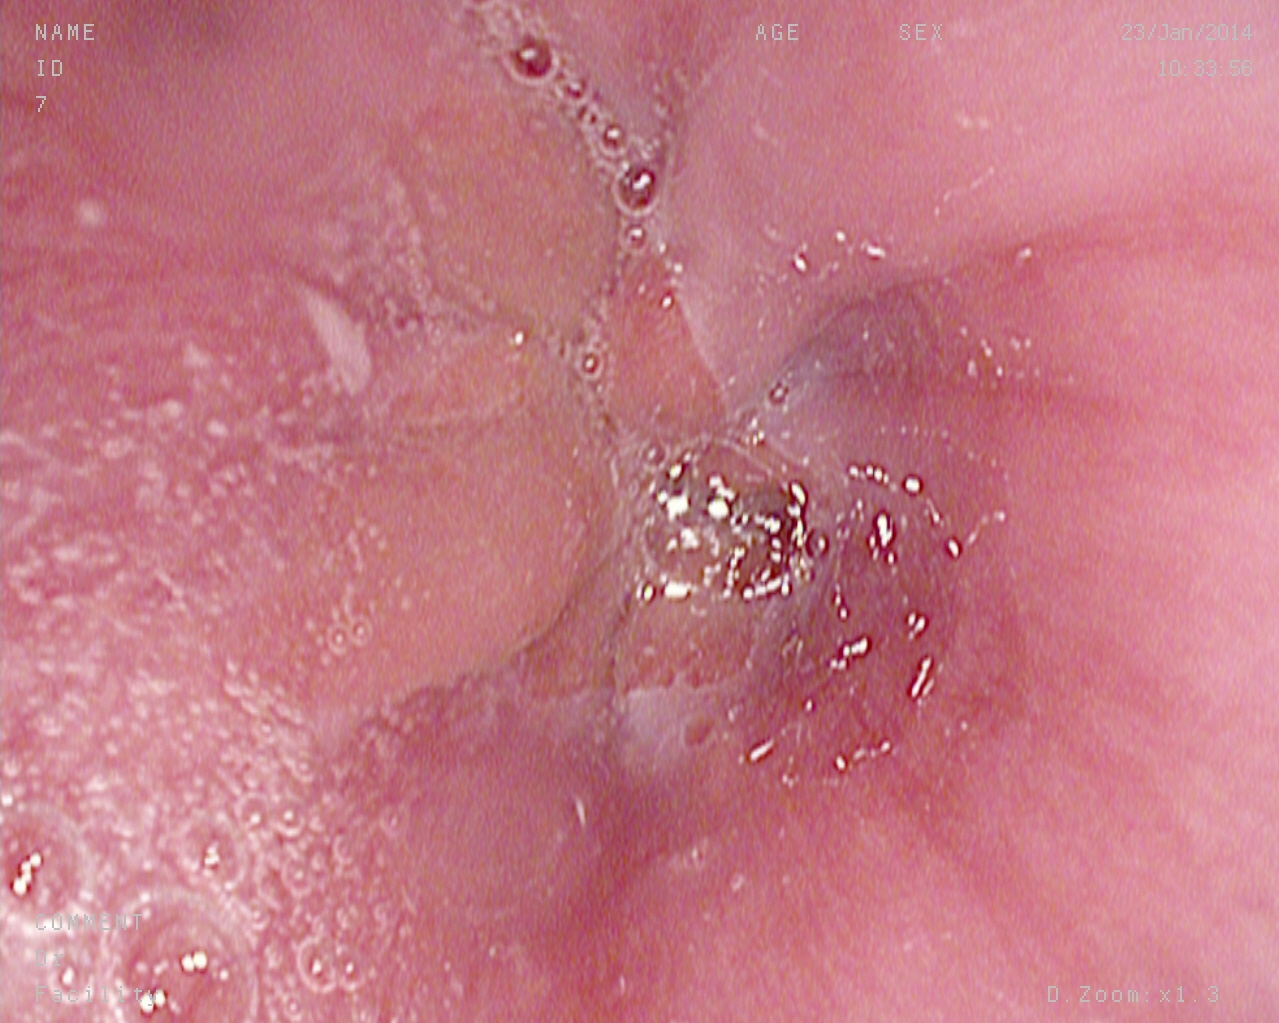Upper-GI endoscopy — Z-line (gastroesophageal junction).